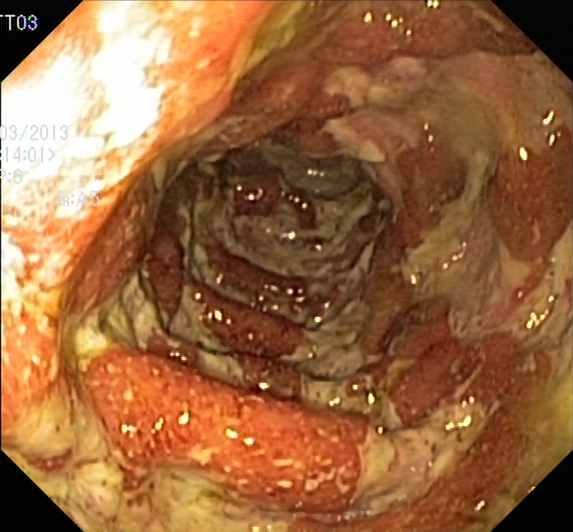{"modality": "colonoscopy", "category": "pathological finding", "finding": "UC, Mayo endoscopic subscore 3"}